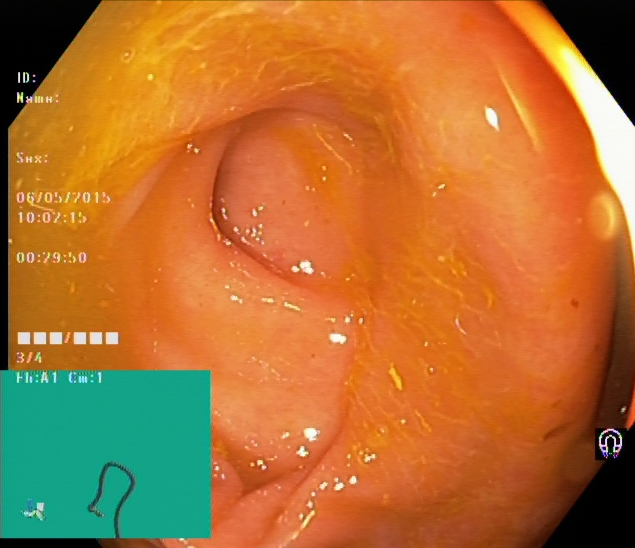{"modality": "lower-GI endoscopy", "tract": "lower GI tract", "finding": "cecum"}